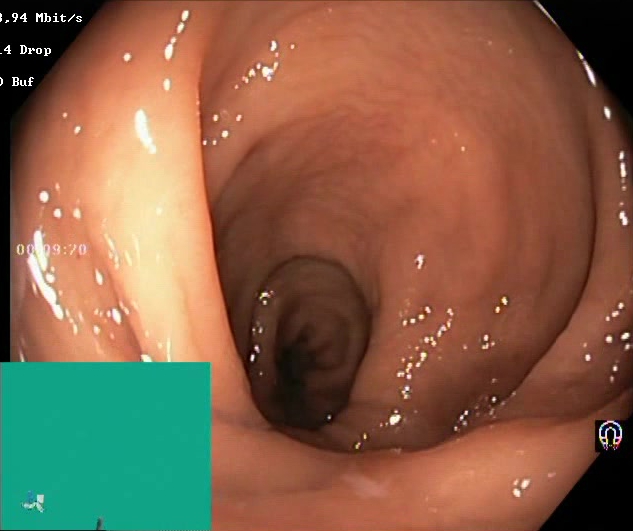Lower-GI endoscopy — Boston Bowel Preparation Scale score 2–3 (adequate preparation).